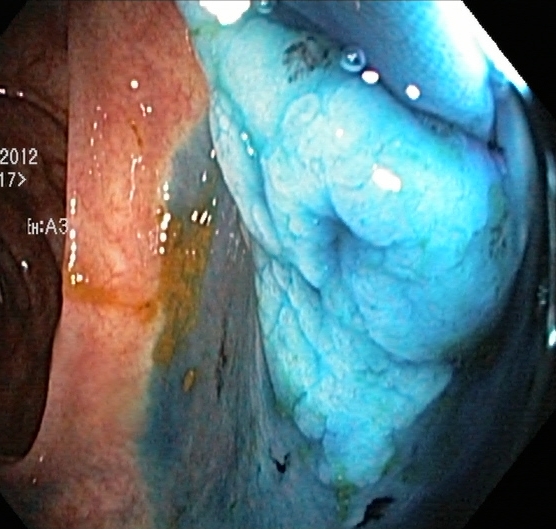Endoscopic frame of the lower GI tract showing dyed and lifted polyp (pre-resection).